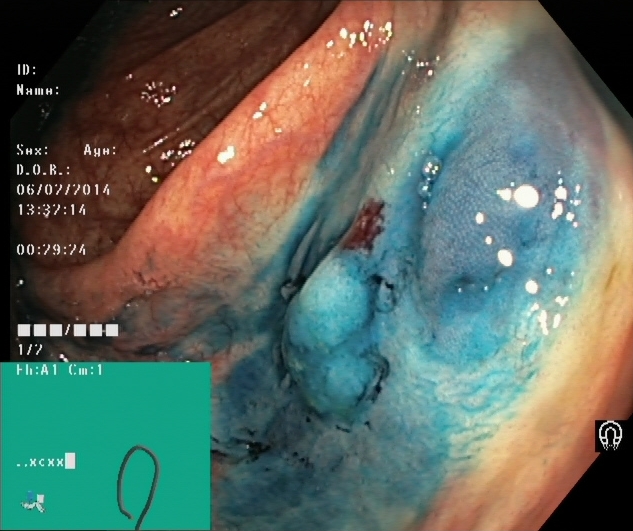PROCEDURE: Lower gastrointestinal endoscopy.
FINDINGS: Dyed and lifted polyp (pre-resection).